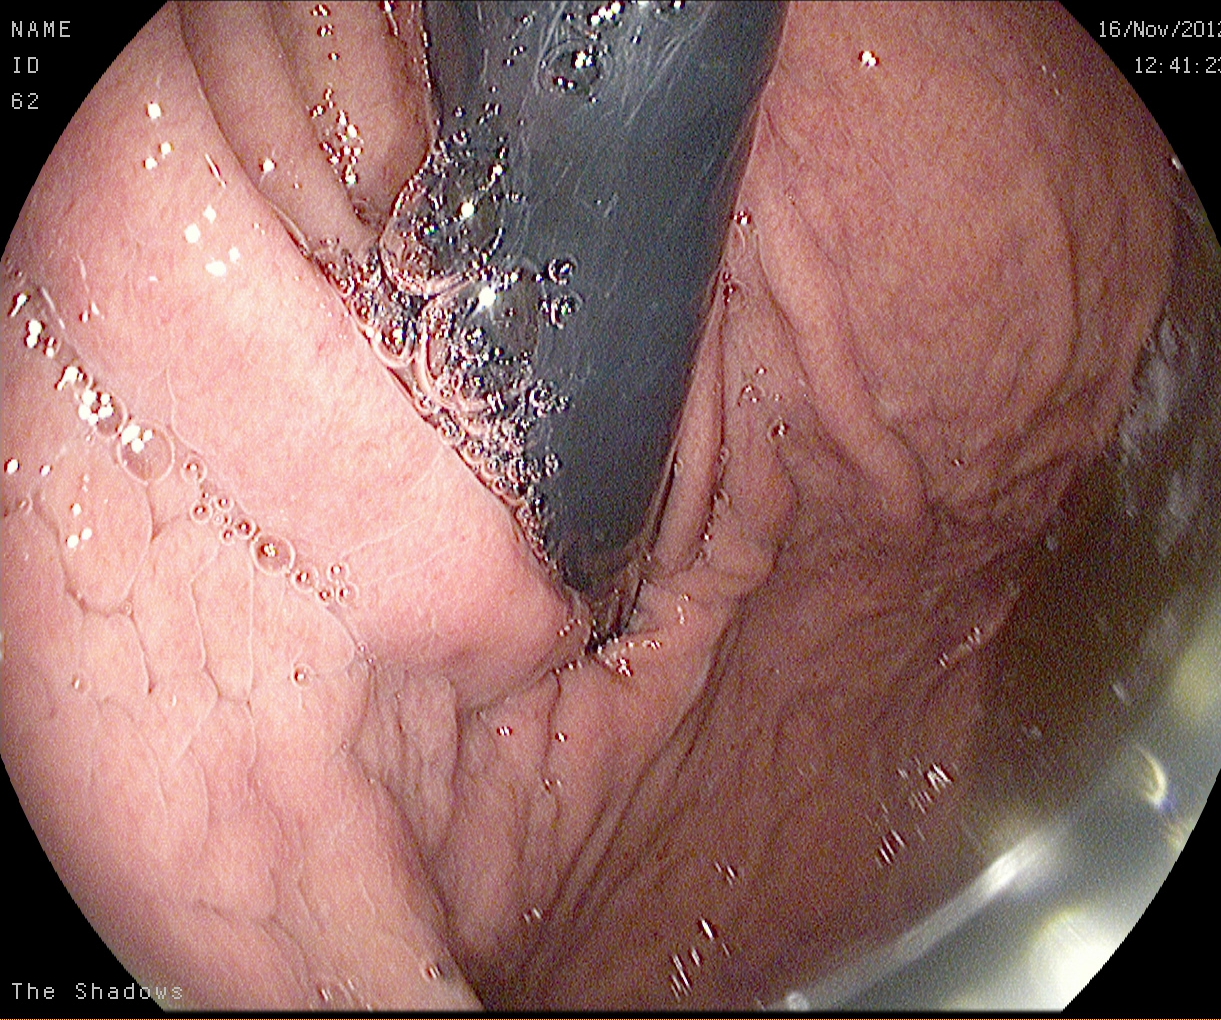modality: gastroscopy | finding: stomach in retroflexion